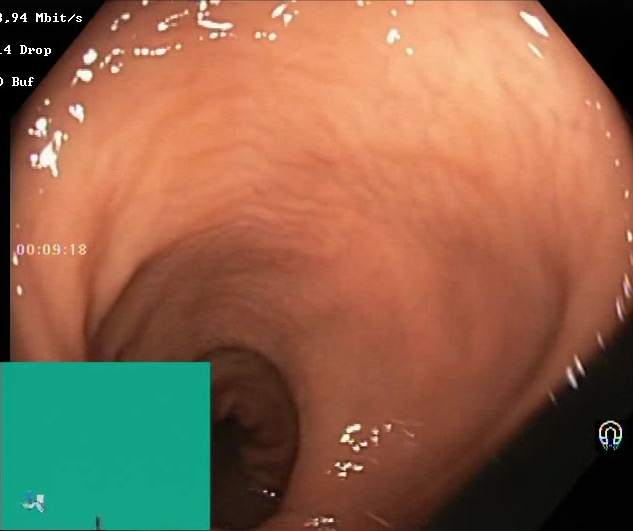PROCEDURE: Colonoscopy.
CATEGORY: Mucosal-view quality.
FINDINGS: Boston Bowel Preparation Scale score 2–3 (adequate preparation).